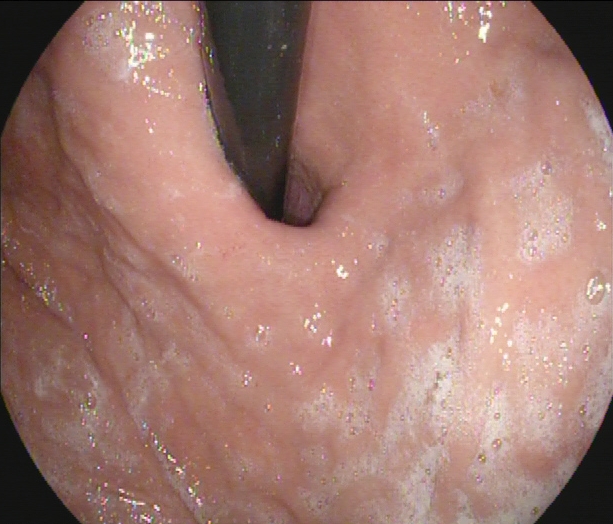{"modality": "upper-GI endoscopy", "tract": "upper GI tract", "category": "anatomical landmark", "finding": "stomach in retroflexion"}